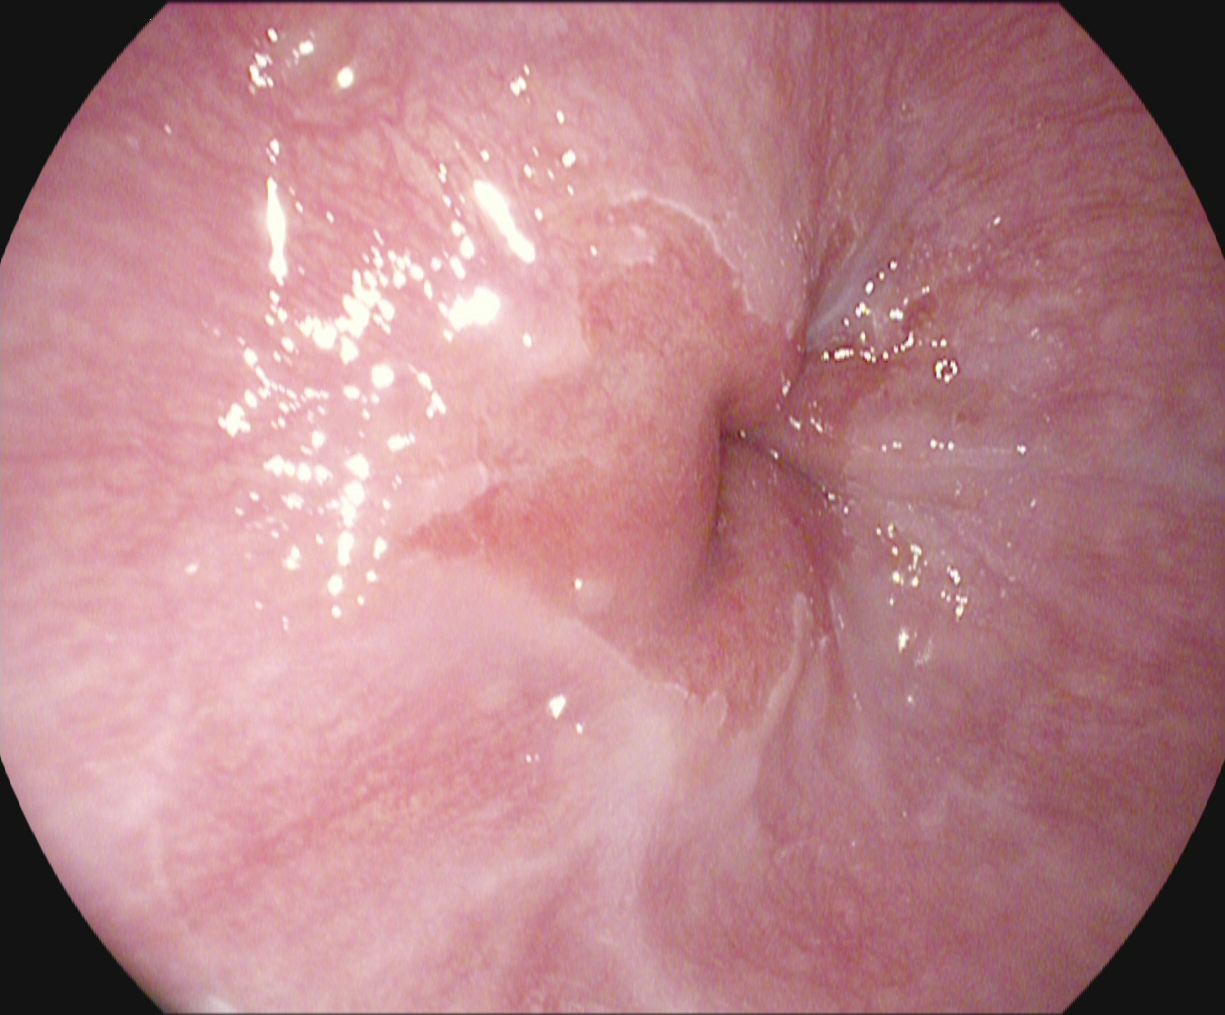Esophagogastroduodenoscopy image showing Z-line (gastroesophageal junction).